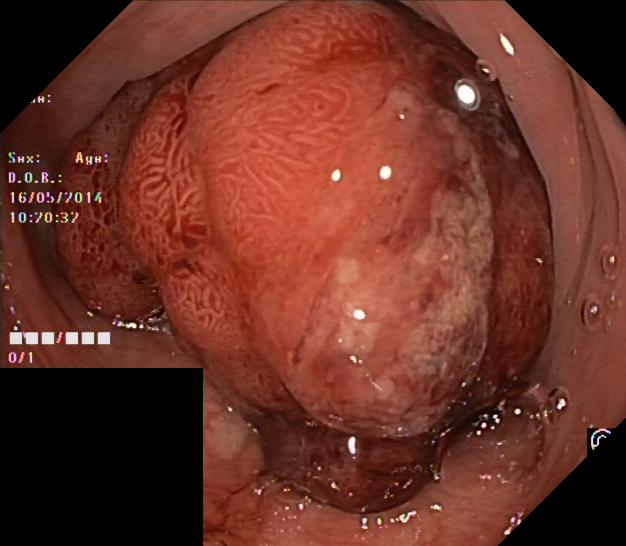{"modality": "colonoscopy", "tract": "lower GI tract", "category": "pathological finding", "finding": "colorectal polyp(s)"}